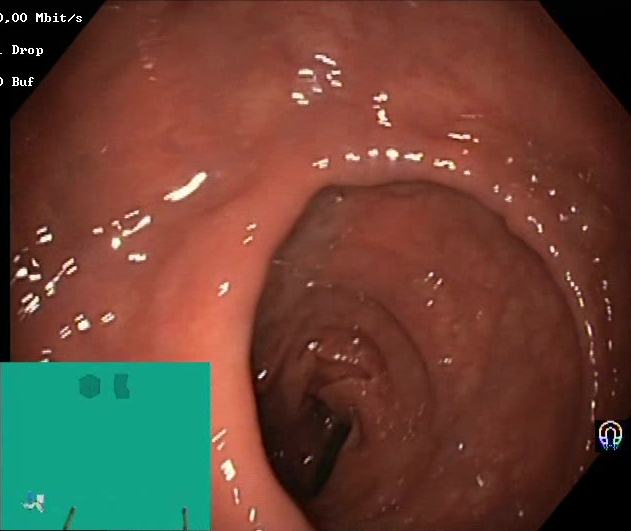modality: colonoscopy; finding: Boston Bowel Preparation Scale score 2–3 (adequate preparation)